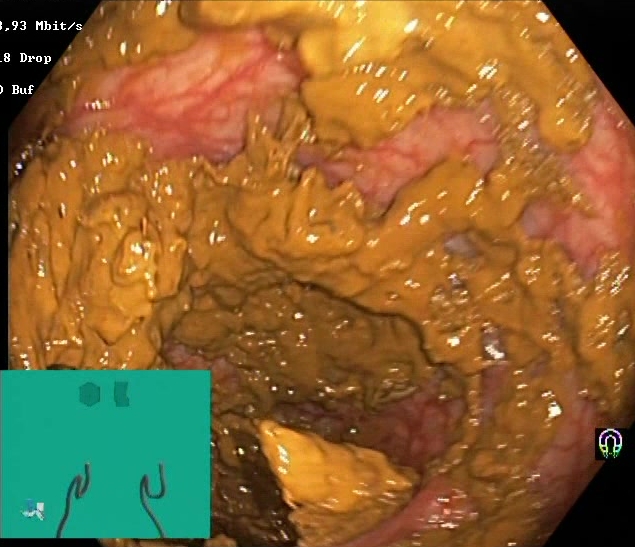modality: lower-GI endoscopy
tract: lower GI tract
category: mucosal-view quality
finding: BBPS score 0–1 (inadequate preparation)